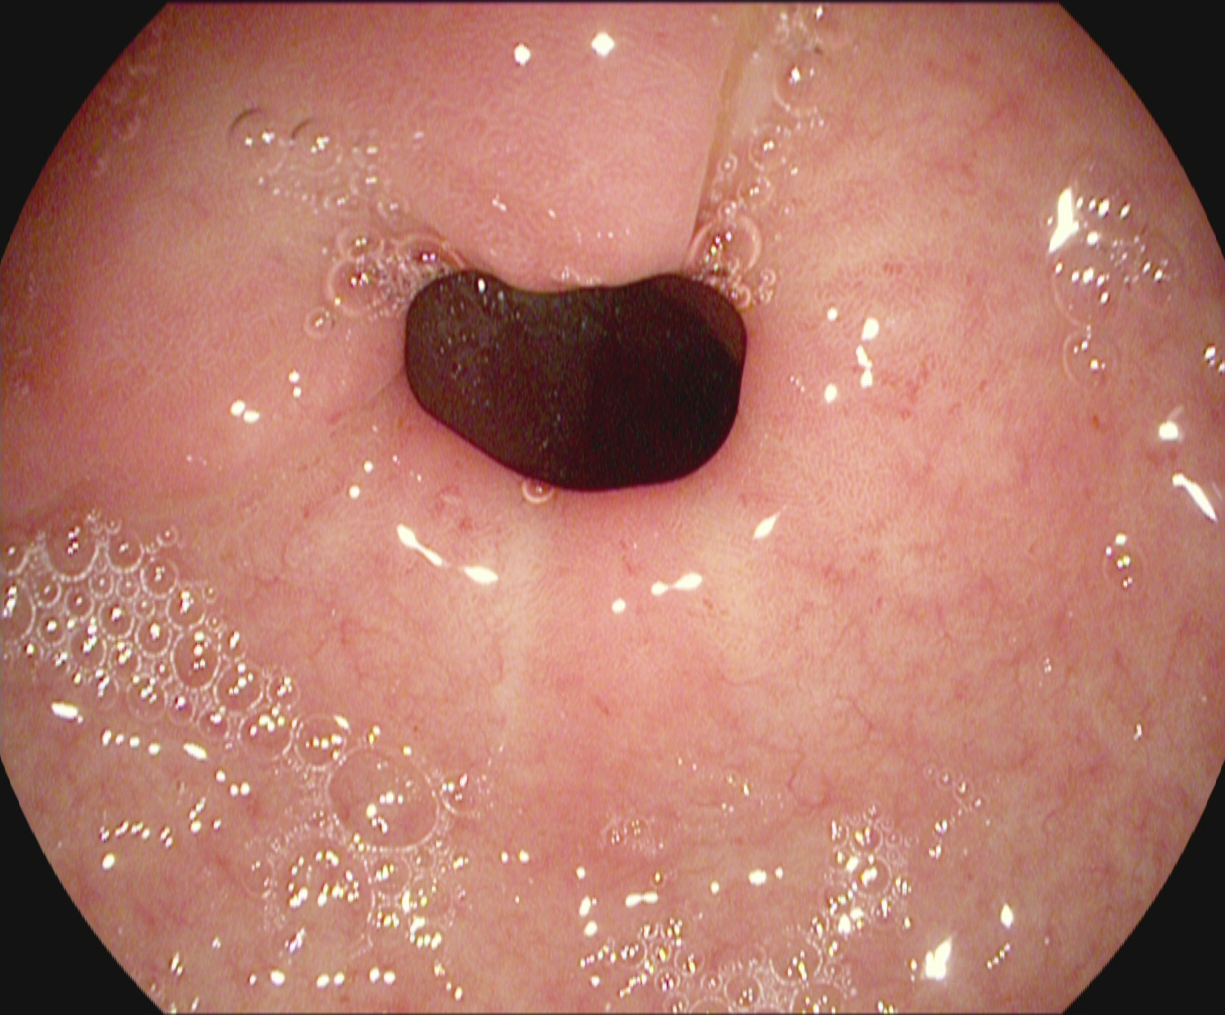{"modality": "gastroscopy", "tract": "upper GI tract", "finding": "pylorus"}